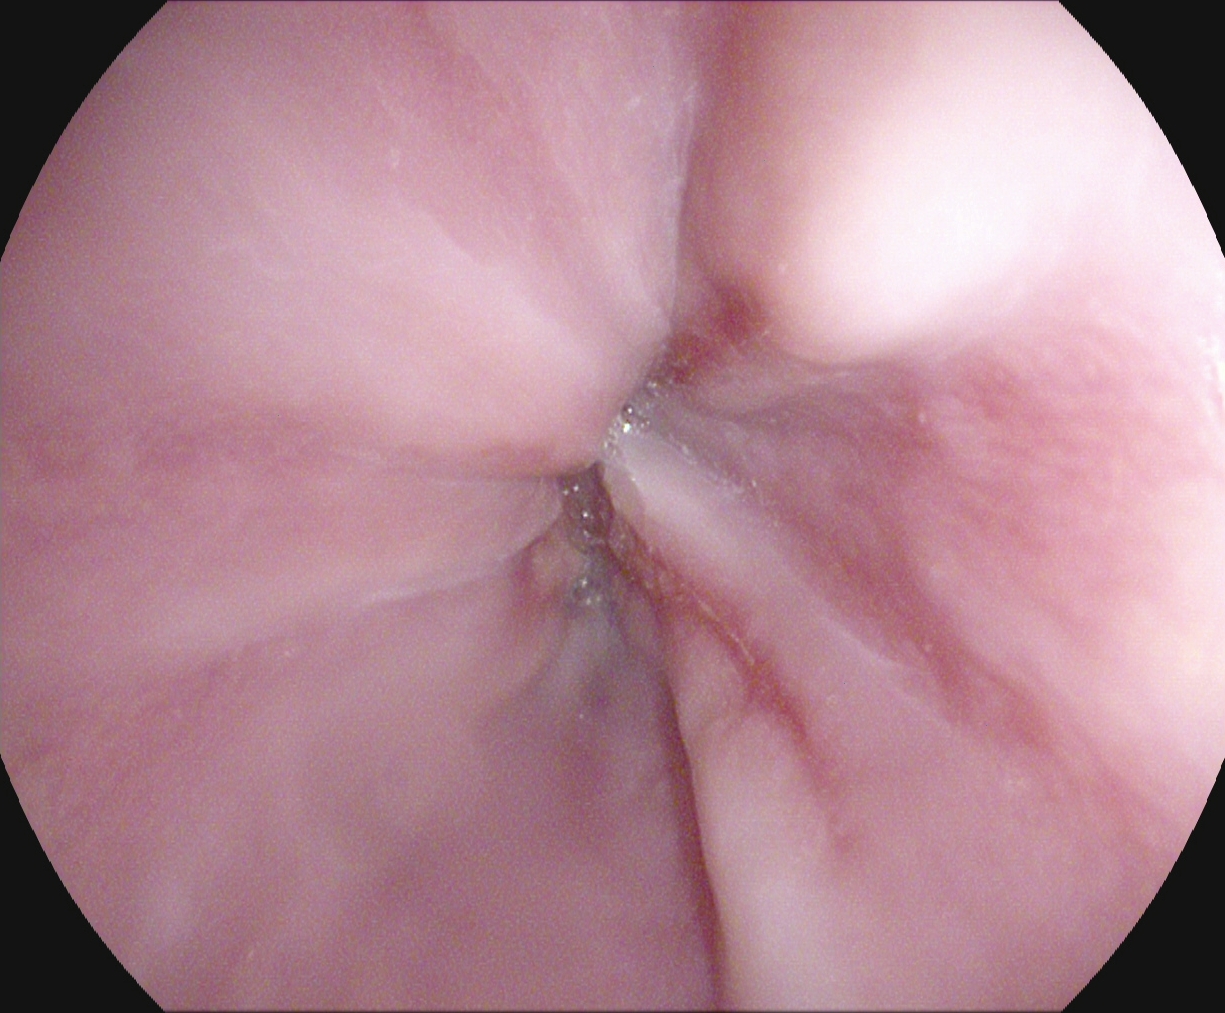This endoscopy frame of the upper GI tract shows reflux esophagitis, Los Angeles grade A.